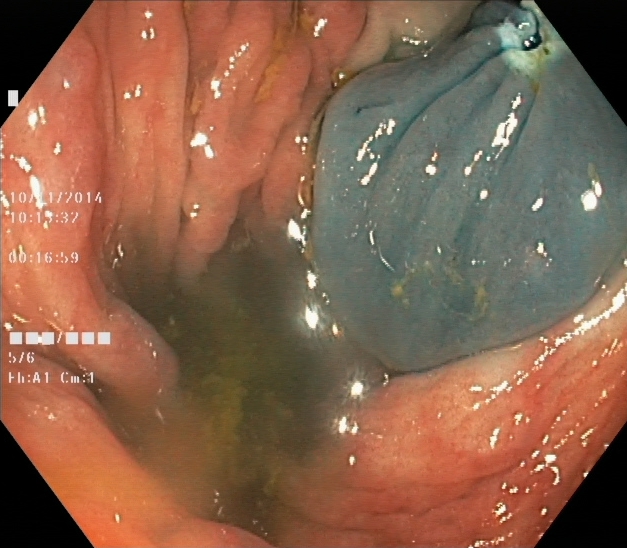PROCEDURE: Lower-GI endoscopy.
FINDINGS: Dyed resection margins (post-polypectomy).